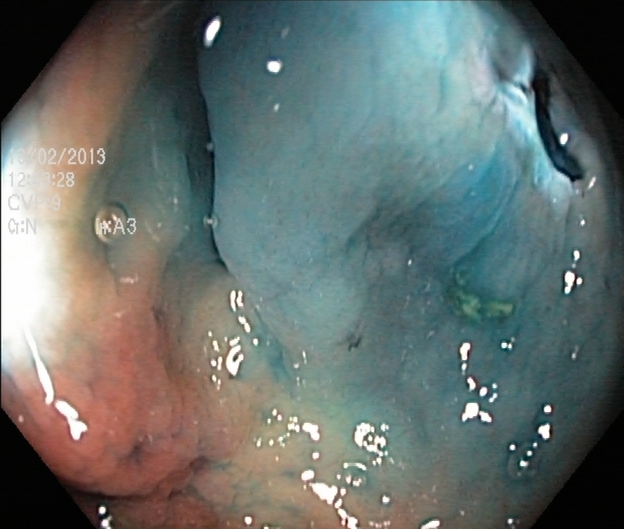Lower gastrointestinal endoscopy — dyed resection margins (post-polypectomy).